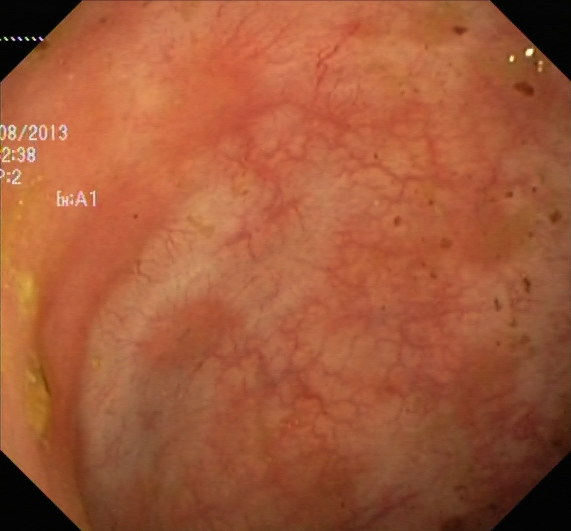{"modality": "lower-GI endoscopy", "tract": "lower GI tract", "finding": "ulcerative colitis, Mayo endoscopic subscore 0\u20131"}